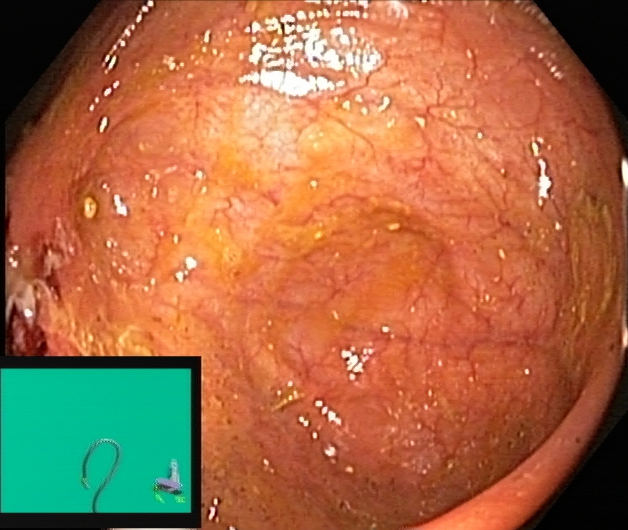Colonoscopy. Finding: UC, Mayo endoscopic subscore 1.